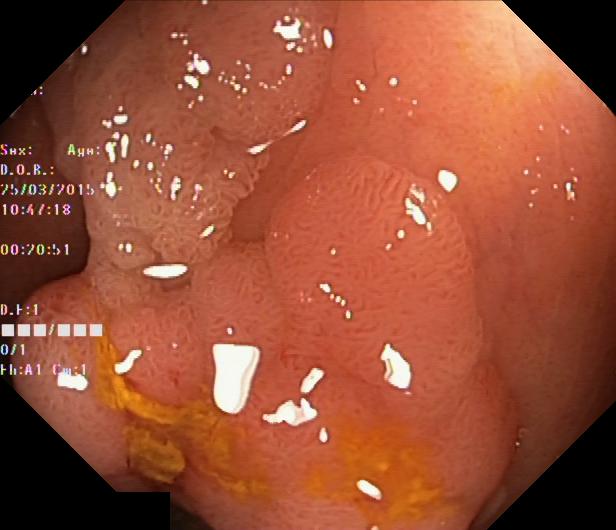This endoscopy frame shows colorectal polyp(s).